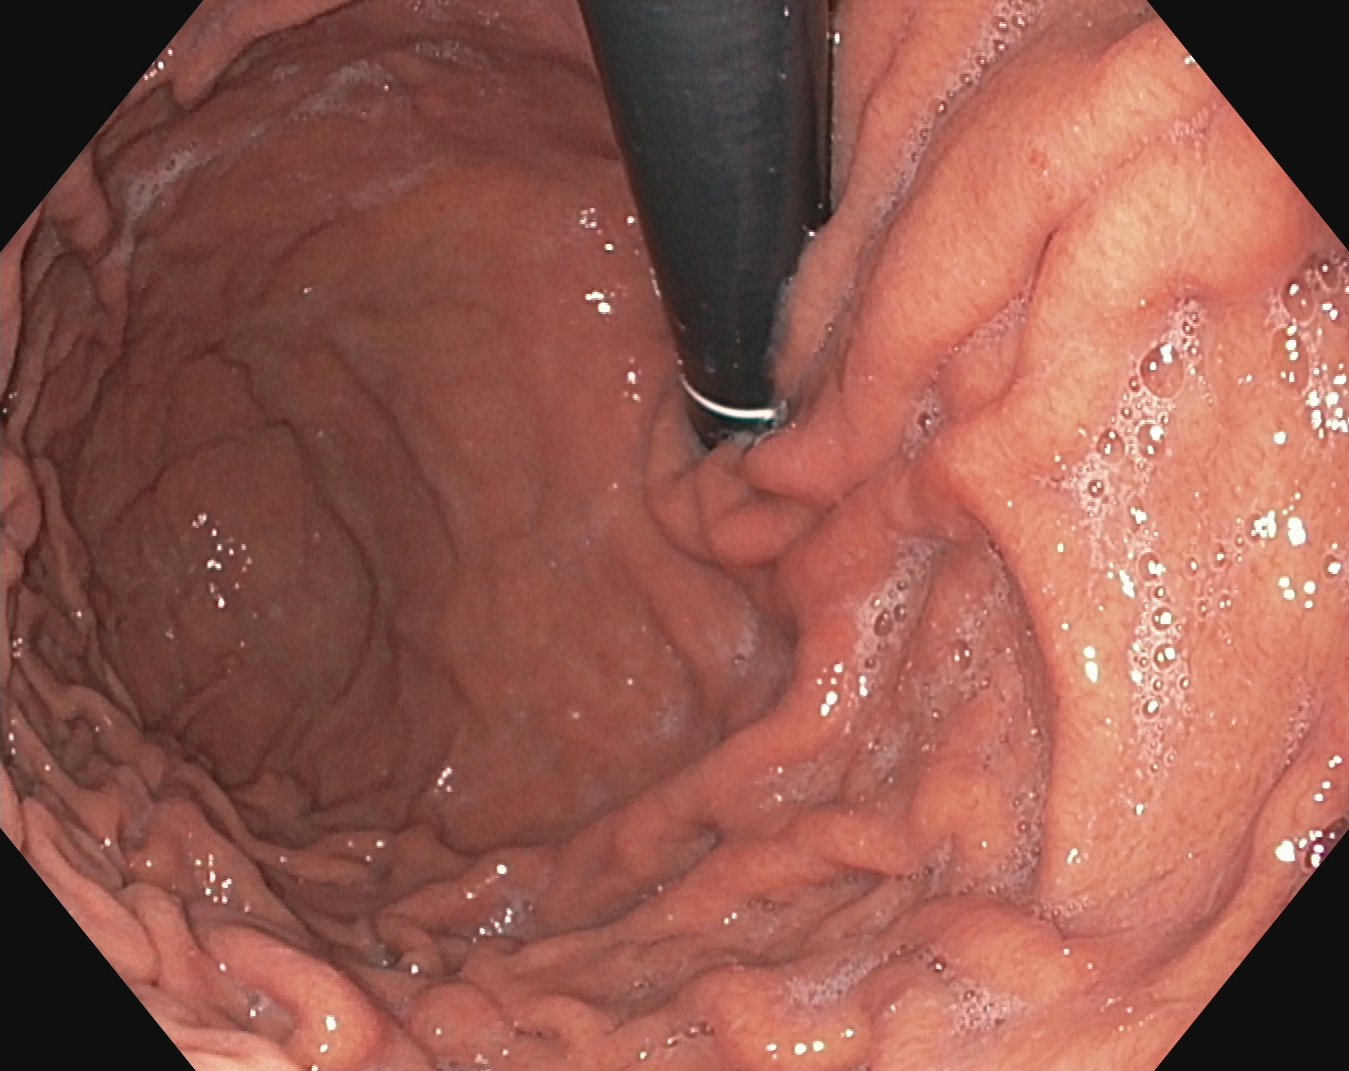EGD. Tract: upper GI tract. Finding: stomach in retroflexion.